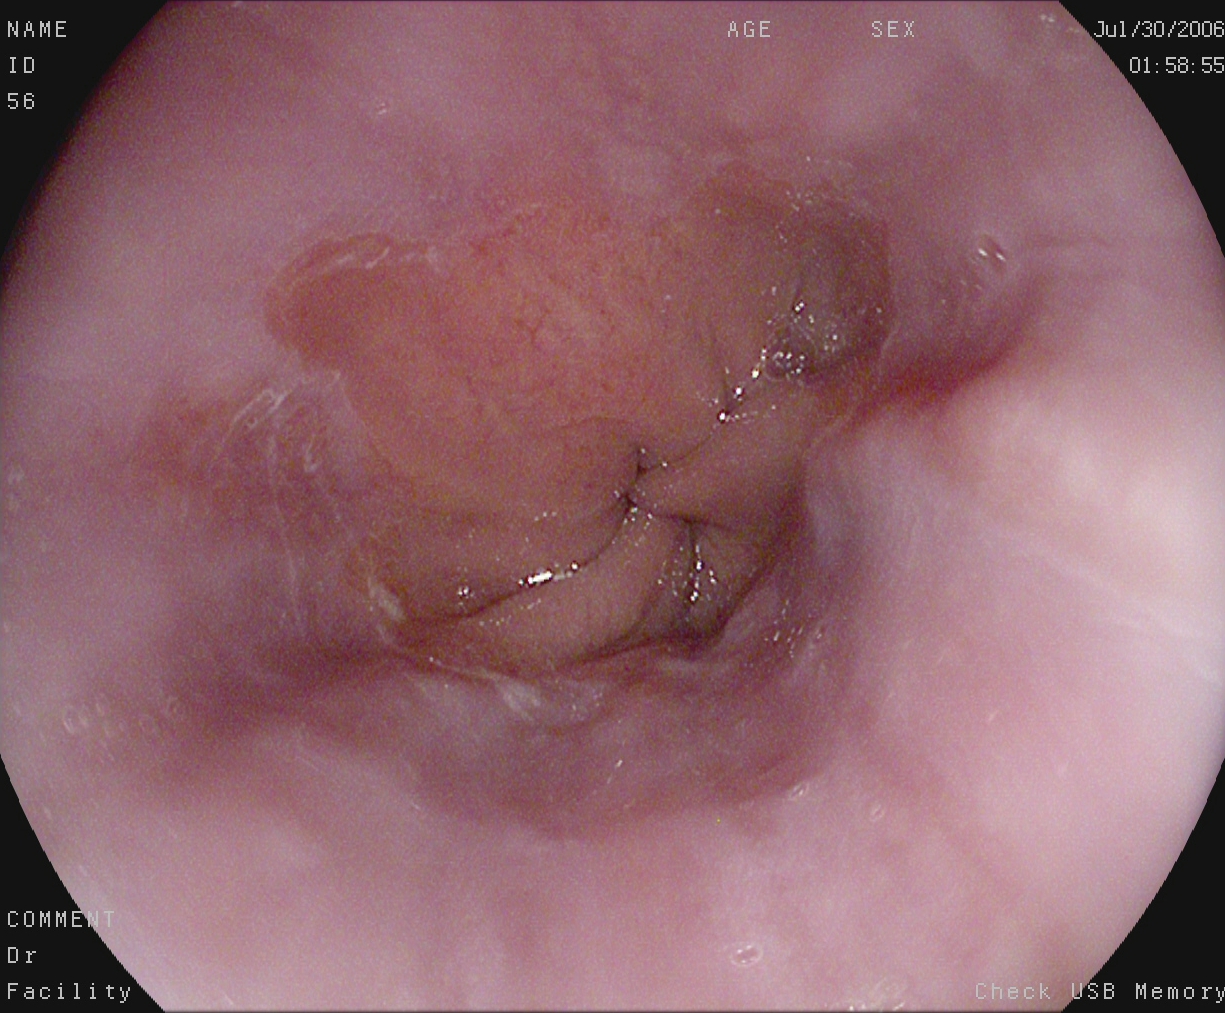modality: upper-GI endoscopy | tract: upper GI tract | category: anatomical landmark | finding: Z-line (gastroesophageal junction)